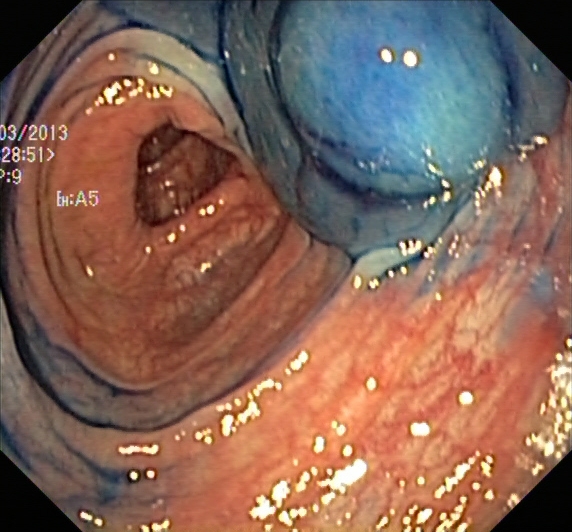modality: lower gastrointestinal endoscopy | finding: dyed and lifted polyp (pre-resection)